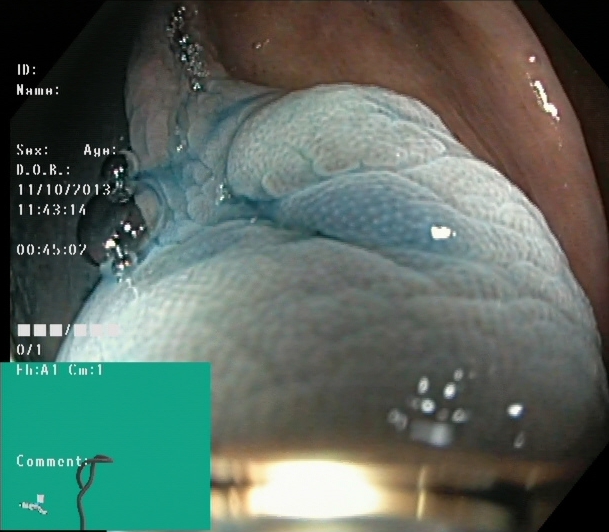Lower-GI endoscopy. Tract: lower GI tract. Finding: dyed and lifted polyp (pre-resection).